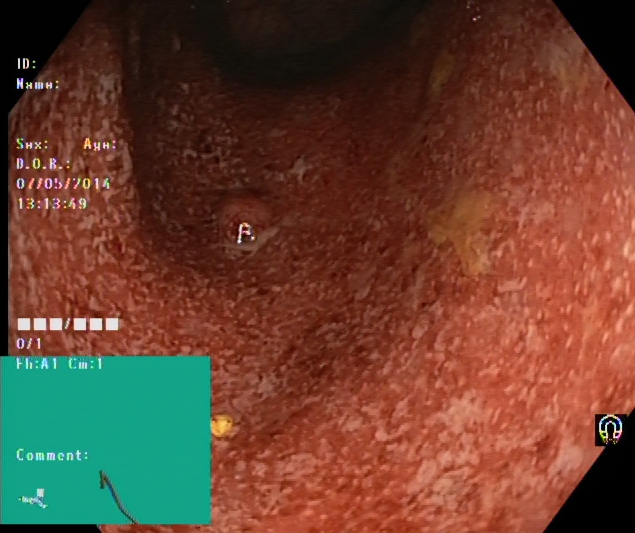Lower gastrointestinal endoscopy image of the lower GI tract showing UC, Mayo endoscopic subscore 2.